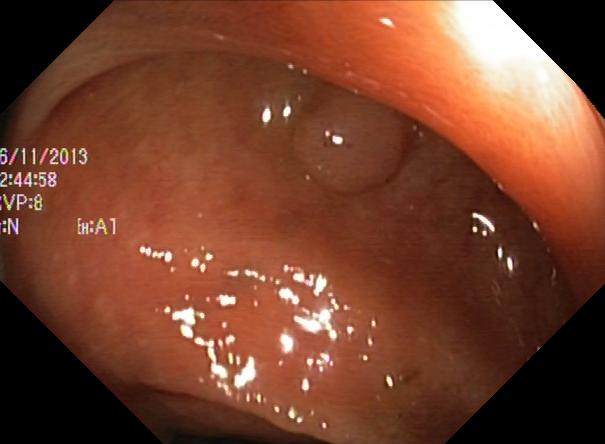Lower-GI endoscopy. Tract: lower GI tract. Pathological finding. Finding: colorectal polyp(s).